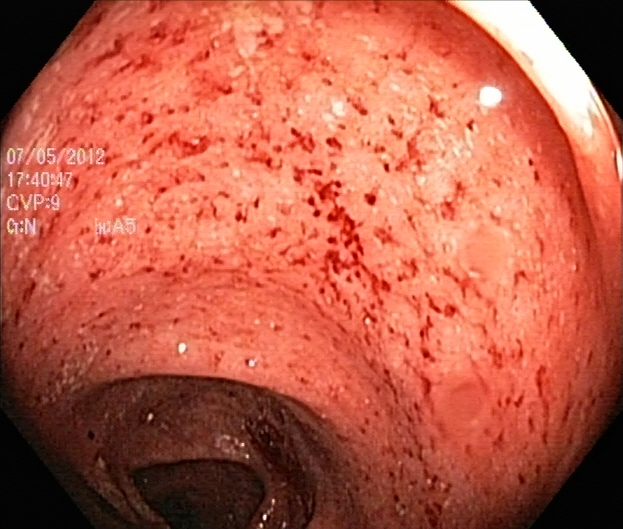{"modality": "lower gastrointestinal endoscopy", "tract": "lower GI tract", "category": "pathological finding", "finding": "UC, Mayo endoscopic subscore 2"}